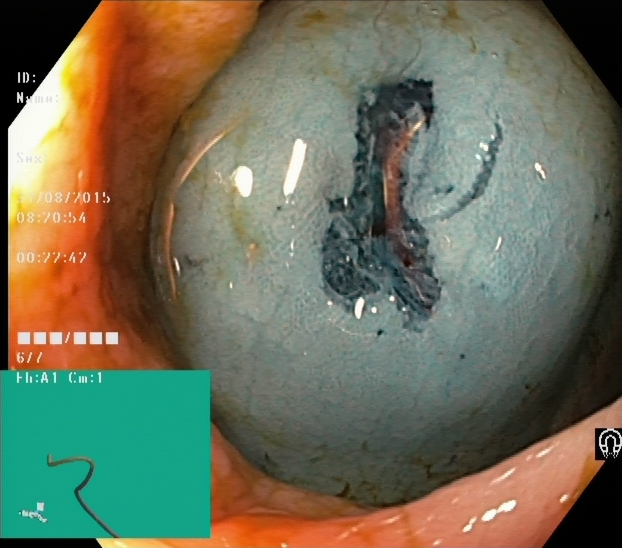PROCEDURE: Lower gastrointestinal endoscopy.
CATEGORY: Therapeutic intervention.
FINDINGS: Dyed resection margins (post-polypectomy).